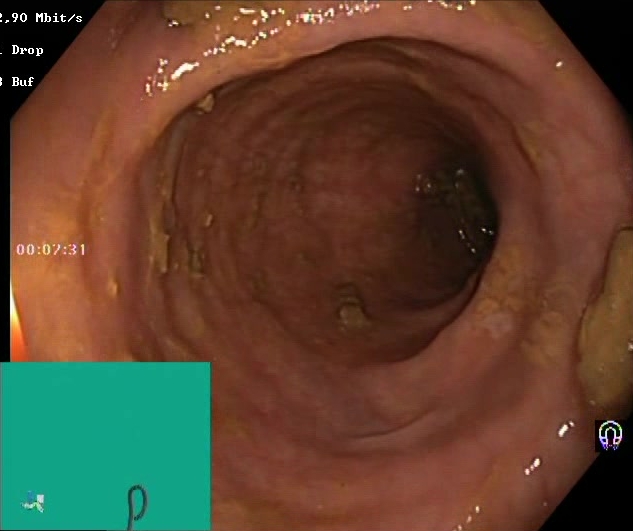{"modality": "lower-GI endoscopy", "category": "mucosal-view quality", "finding": "Boston Bowel Preparation Scale score 2\u20133 (adequate preparation)"}